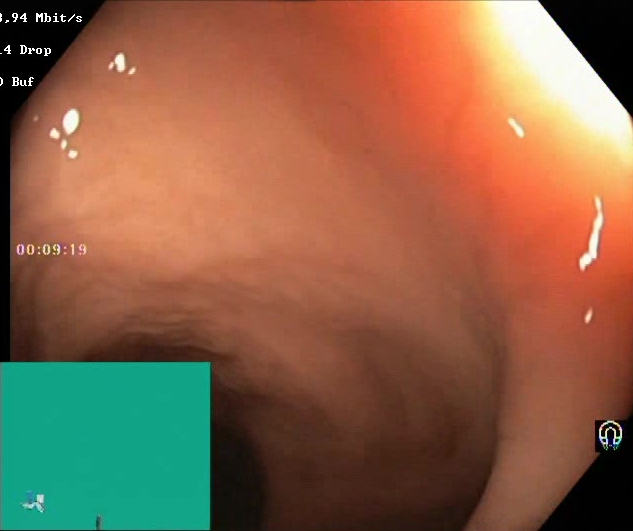modality: lower gastrointestinal endoscopy; tract: lower GI tract; finding: Boston Bowel Preparation Scale score 2–3 (adequate preparation)